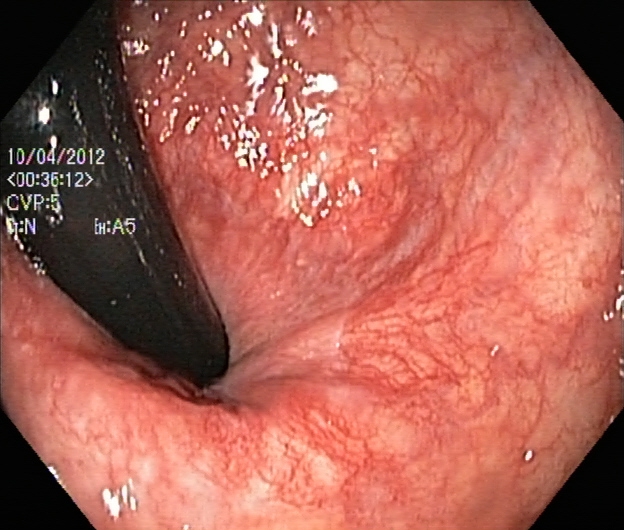Rectum in retroflexion.